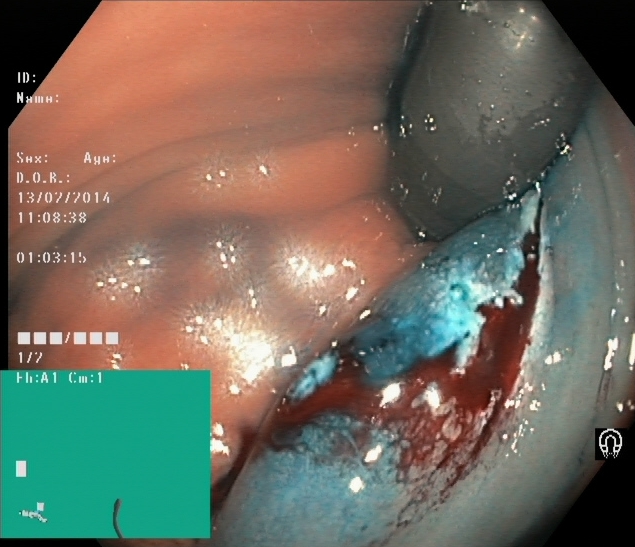This endoscopy frame of the lower GI tract shows dyed resection margins (post-polypectomy).